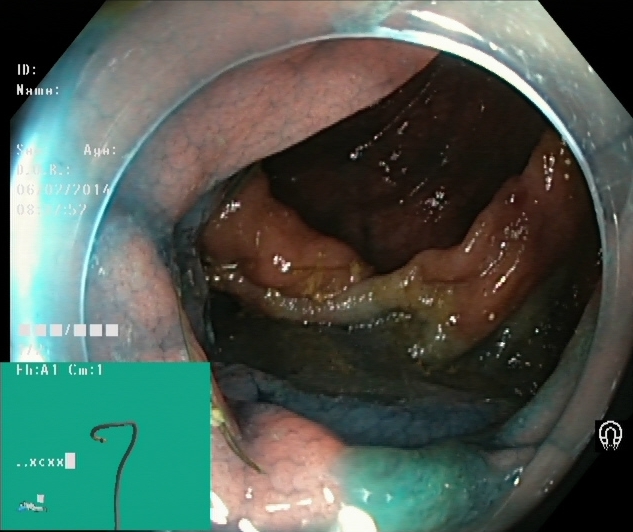{"modality": "lower gastrointestinal endoscopy", "tract": "lower GI tract", "finding": "dyed resection margins (post-polypectomy)"}